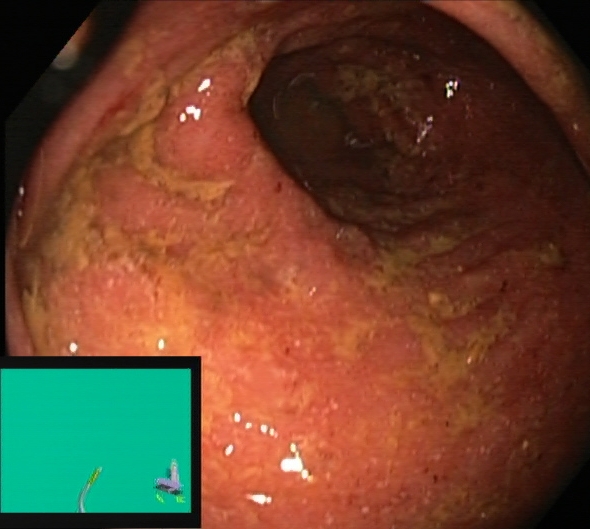UC, Mayo endoscopic subscore 2.